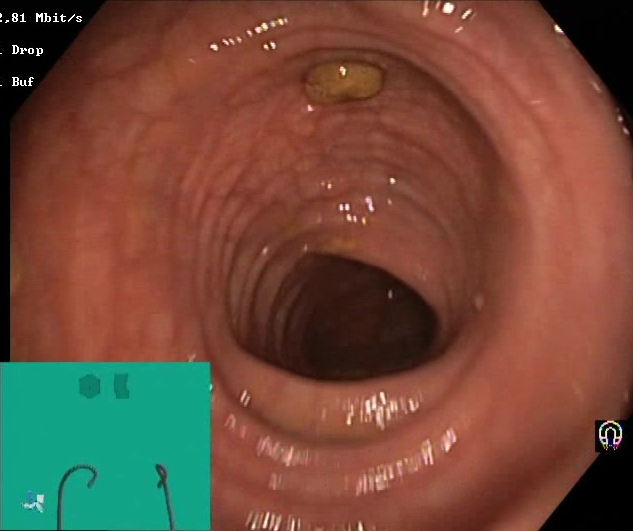{"modality": "colonoscopy", "finding": "impacted stool"}